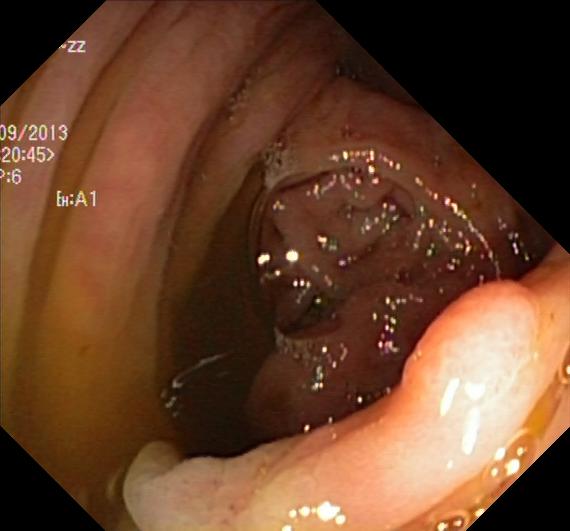Lower-GI endoscopy. Tract: lower GI tract. Finding: colorectal polyp(s).